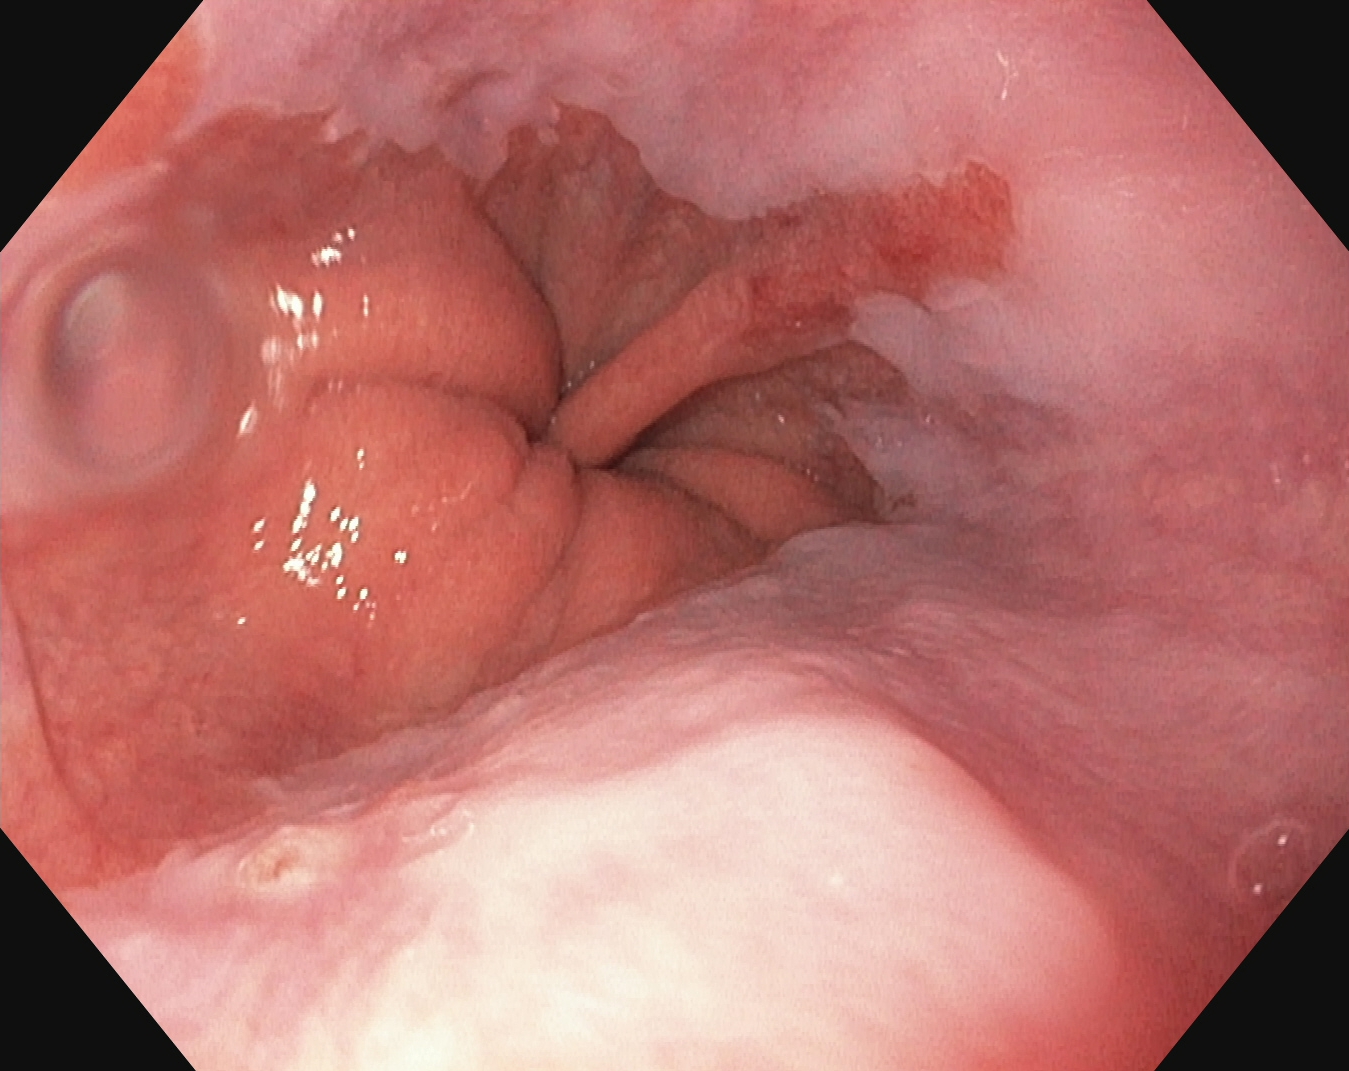Upper-GI endoscopy. Finding: Barrett's esophagus, short segment.